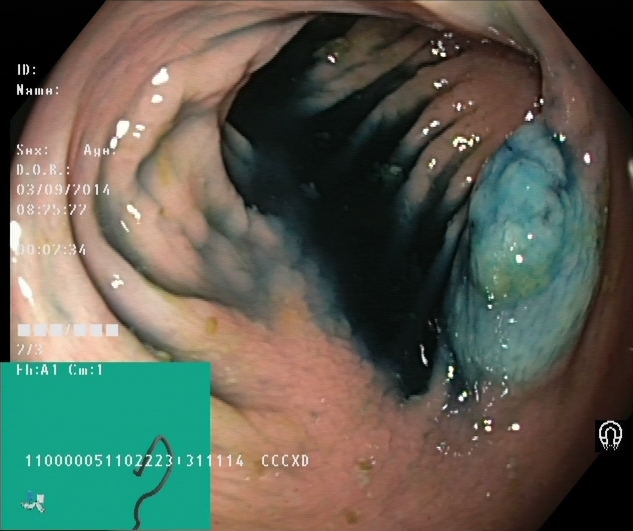Colonoscopy. Tract: lower GI tract. Therapeutic intervention. Finding: dyed and lifted polyp (pre-resection).